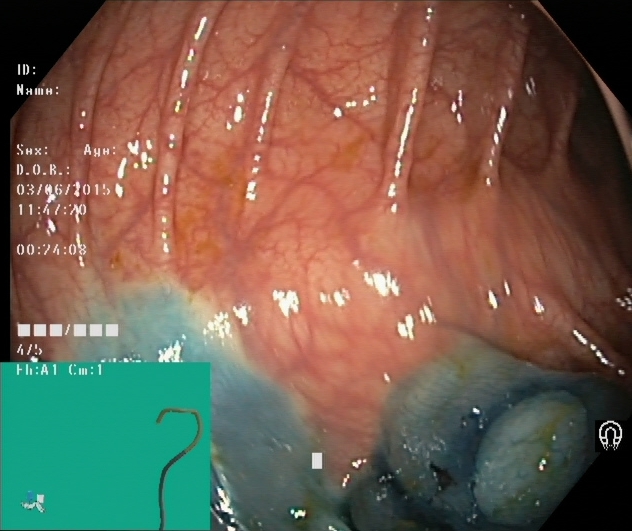This endoscopy frame shows dyed and lifted polyp (pre-resection).